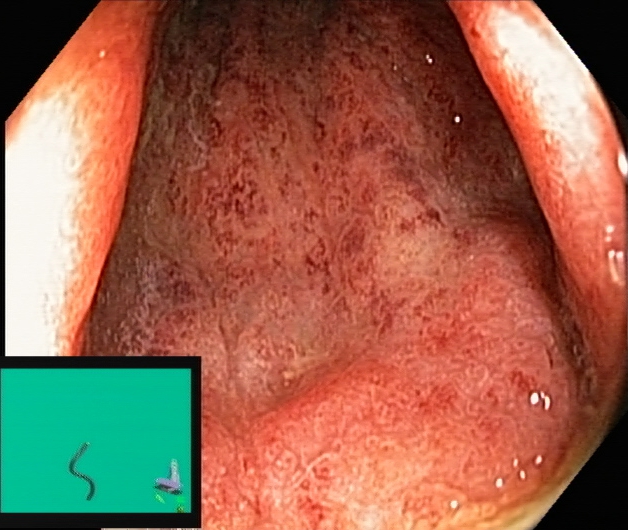Lower-GI endoscopy — ulcerative colitis, Mayo endoscopic subscore 2.